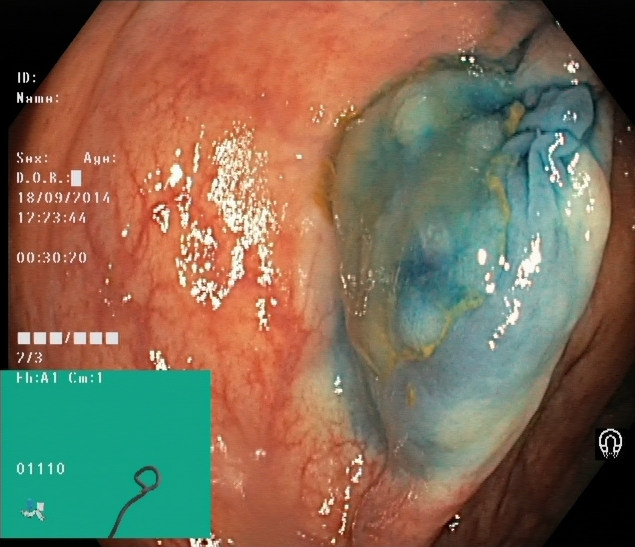{"modality": "lower gastrointestinal endoscopy", "finding": "dyed and lifted polyp (pre-resection)"}